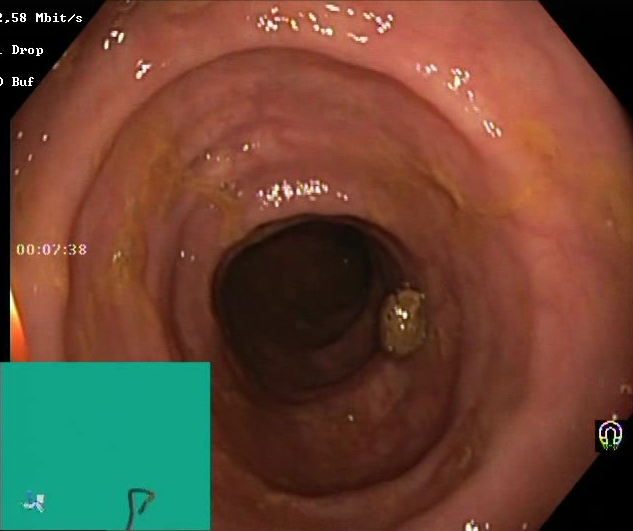PROCEDURE: Colonoscopy.
FINDINGS: Boston Bowel Preparation Scale score 2–3 (adequate preparation).